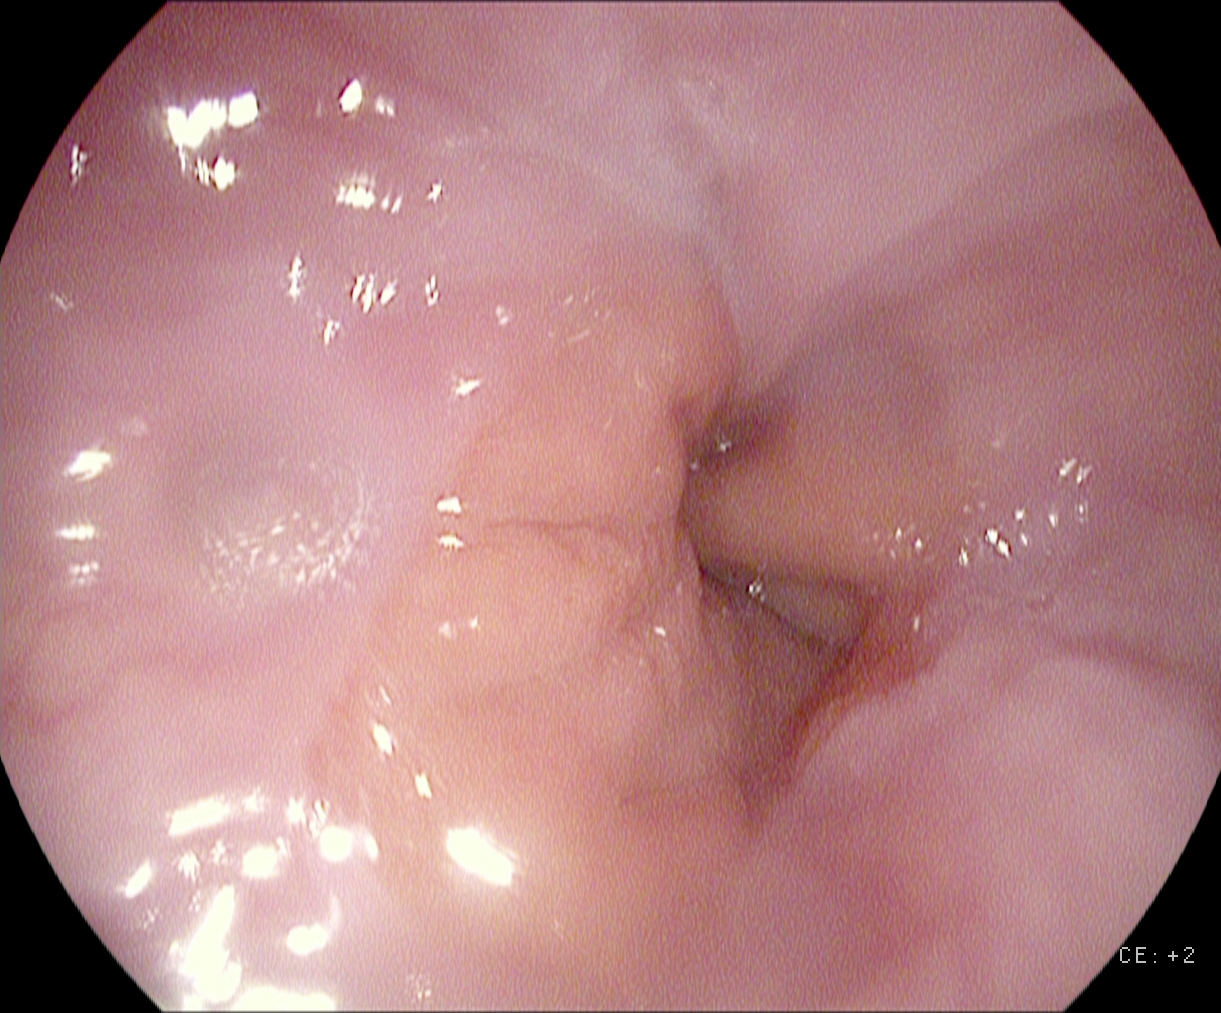Gastroscopy — reflux esophagitis, LA grade A.